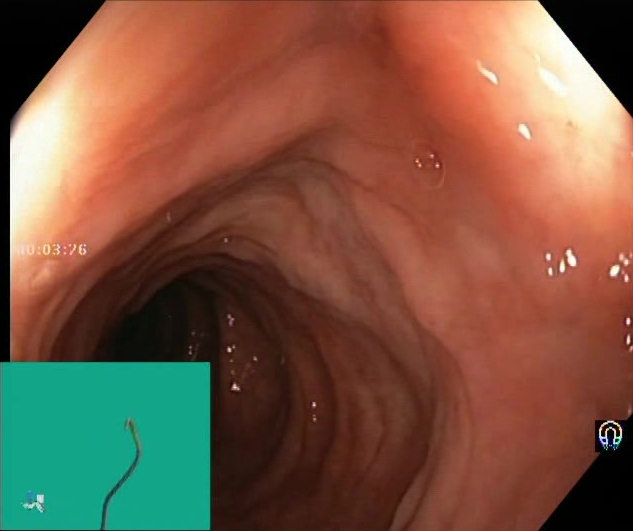modality: colonoscopy; category: mucosal-view quality; finding: Boston Bowel Preparation Scale score 2–3 (adequate preparation)